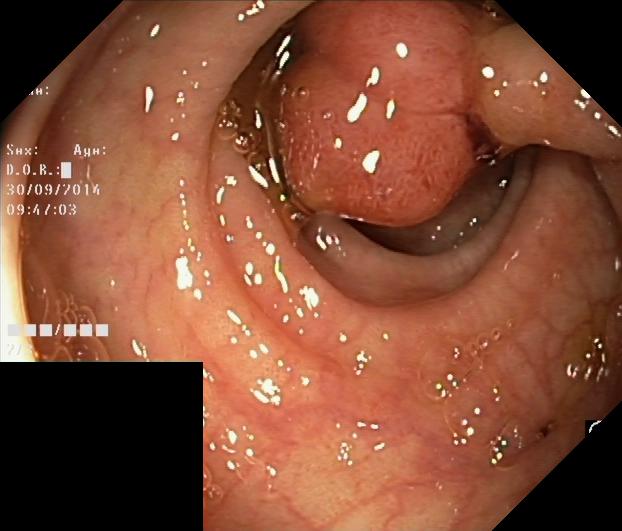Colorectal polyp(s).